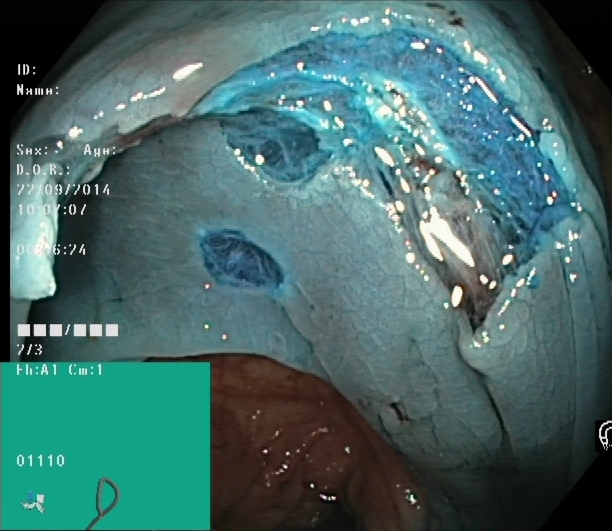Colonoscopy image showing dyed resection margins (post-polypectomy).